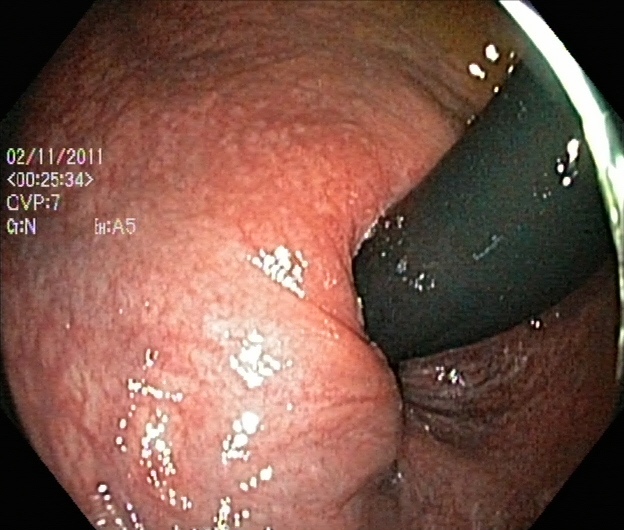Lower gastrointestinal endoscopy — rectum in retroflexion.